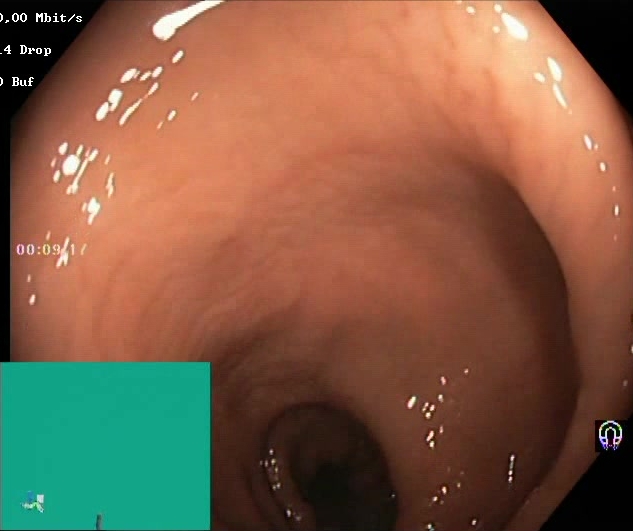Endoscopy image showing BBPS score 2–3 (adequate preparation).